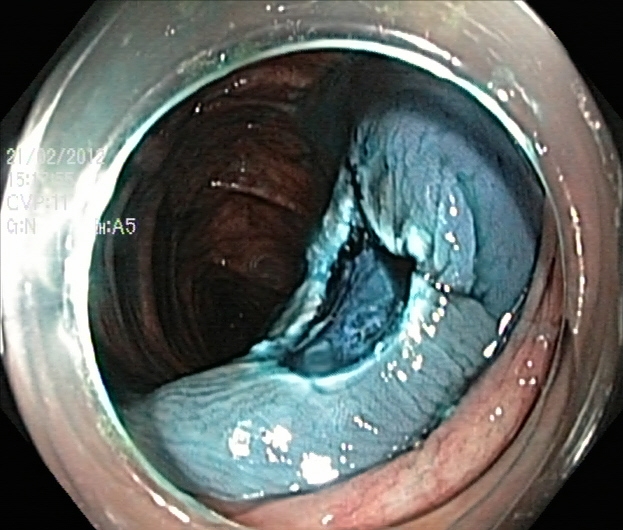modality: lower gastrointestinal endoscopy | tract: lower GI tract | finding: dyed resection margins (post-polypectomy)